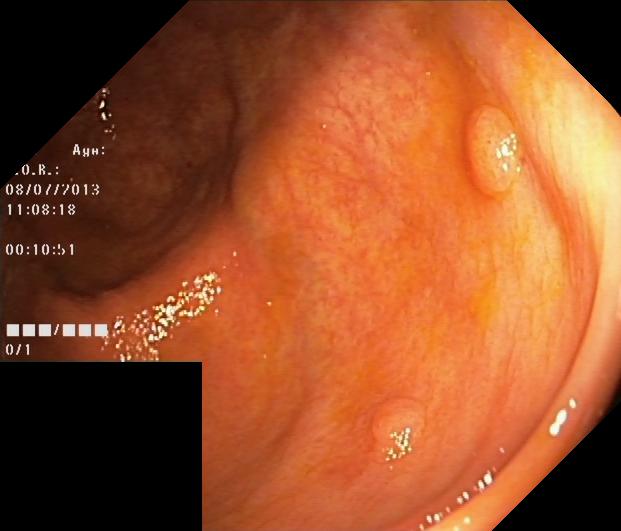modality: colonoscopy
tract: lower GI tract
finding: colorectal polyp(s)